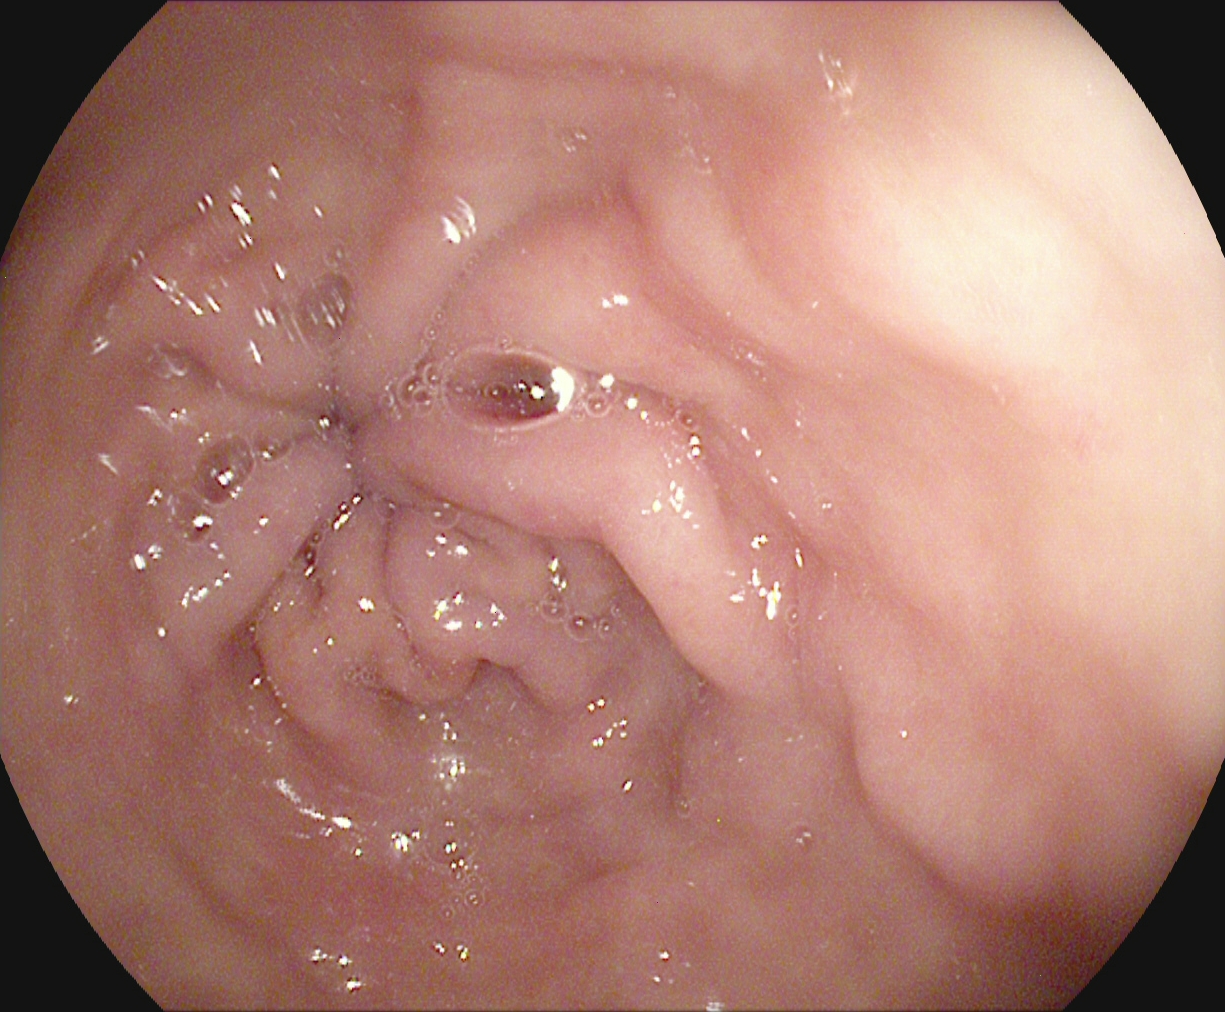This endoscopic image of the upper GI tract shows pylorus.